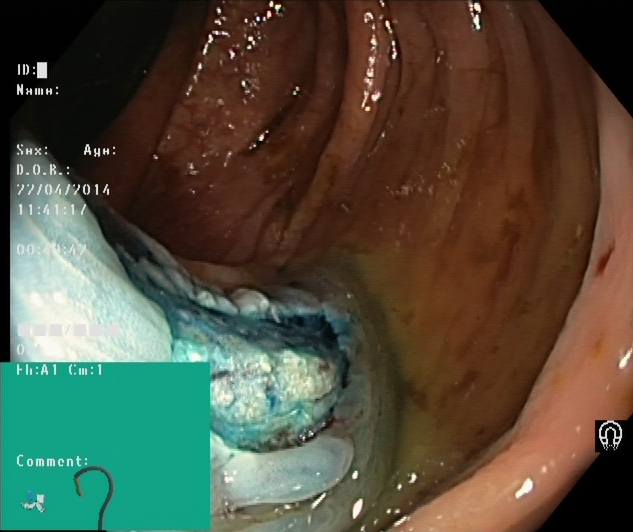This endoscopic image shows dyed resection margins (post-polypectomy).